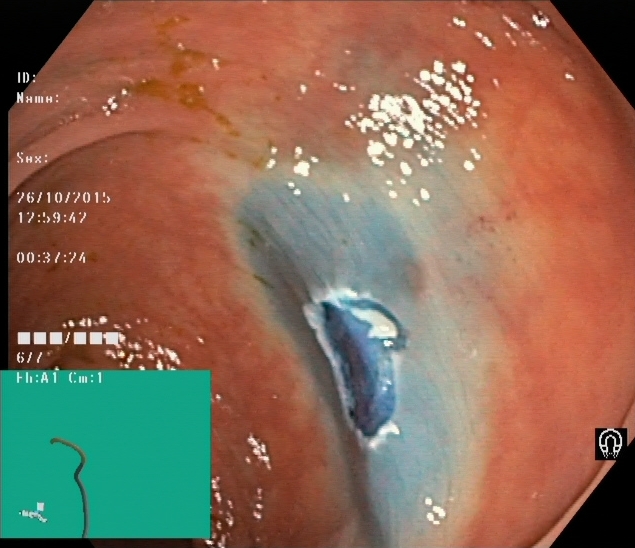Lower-GI endoscopy. Tract: lower GI tract. Finding: dyed resection margins (post-polypectomy).